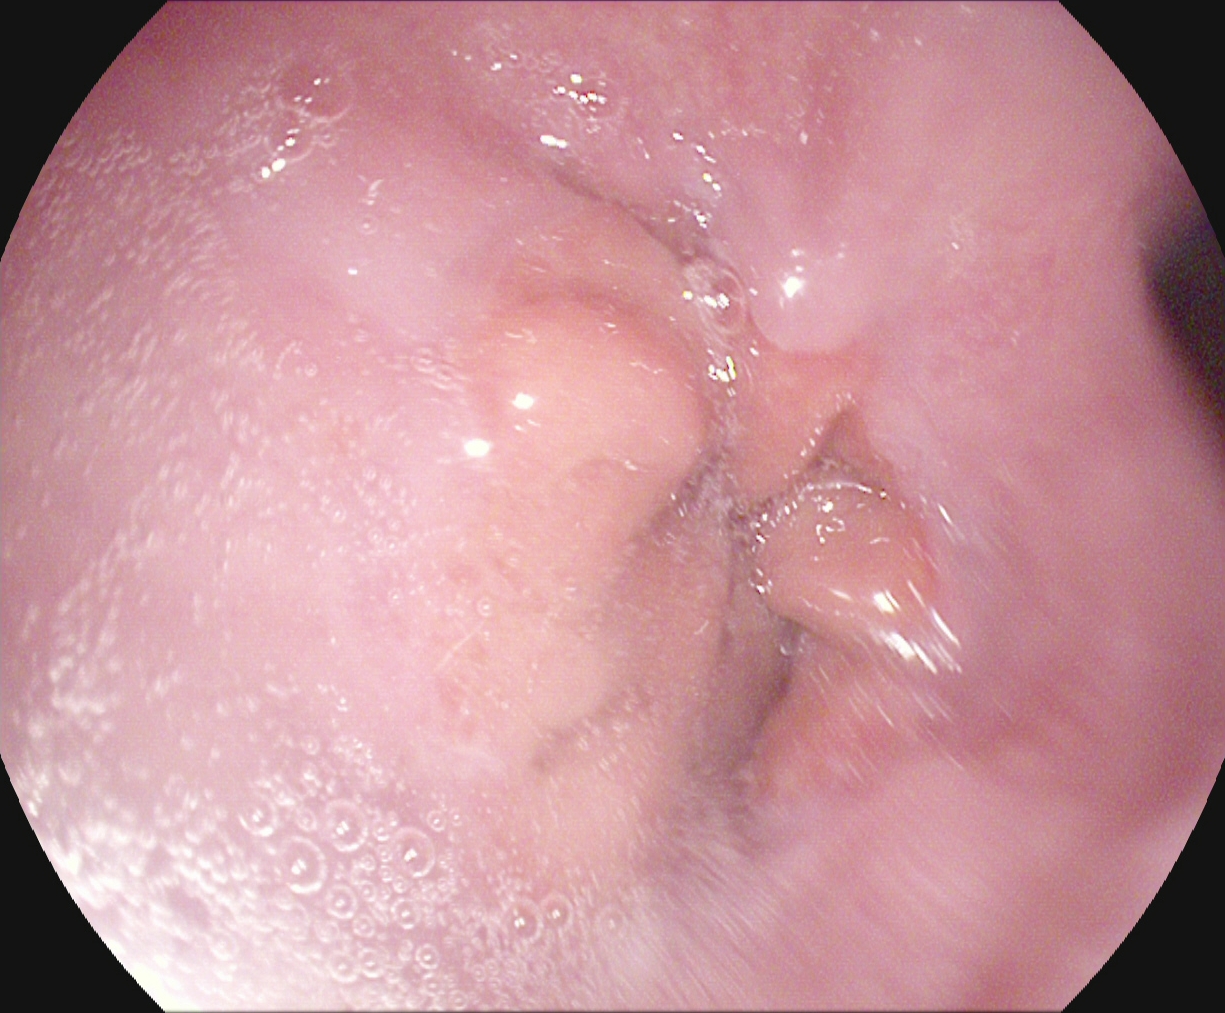Z-line (gastroesophageal junction).